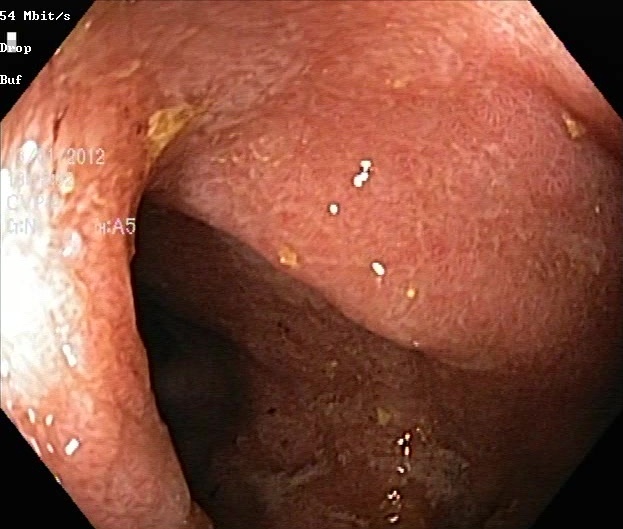Lower-GI endoscopy — ulcerative colitis, Mayo endoscopic subscore 2.